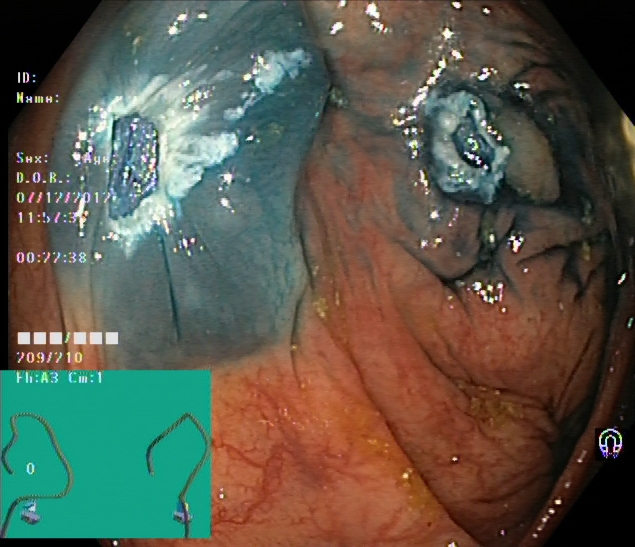Dyed resection margins (post-polypectomy).